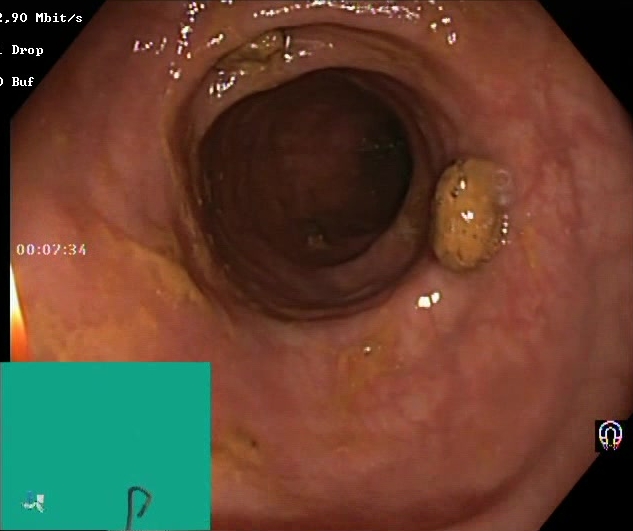Impacted stool.